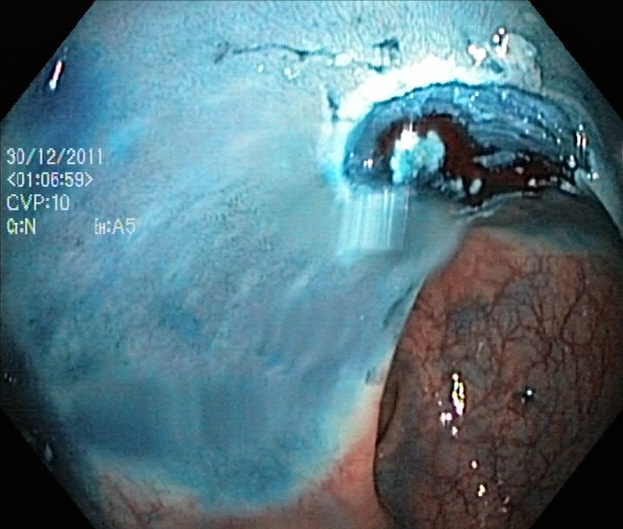Colonoscopy. Finding: dyed resection margins (post-polypectomy).